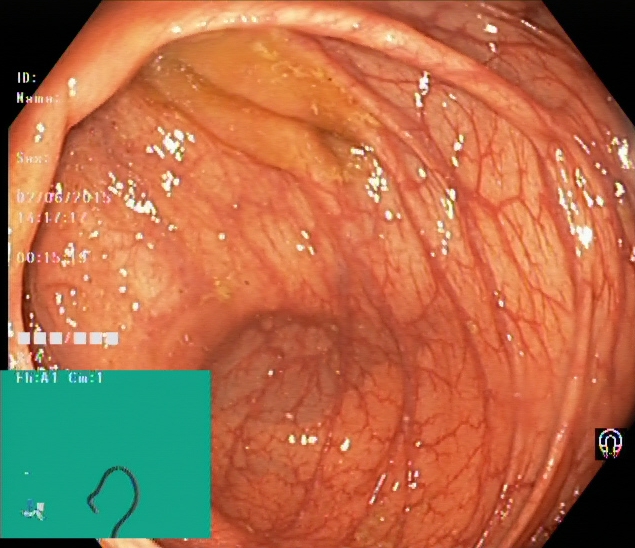Lower gastrointestinal endoscopy image of the lower GI tract showing cecum.